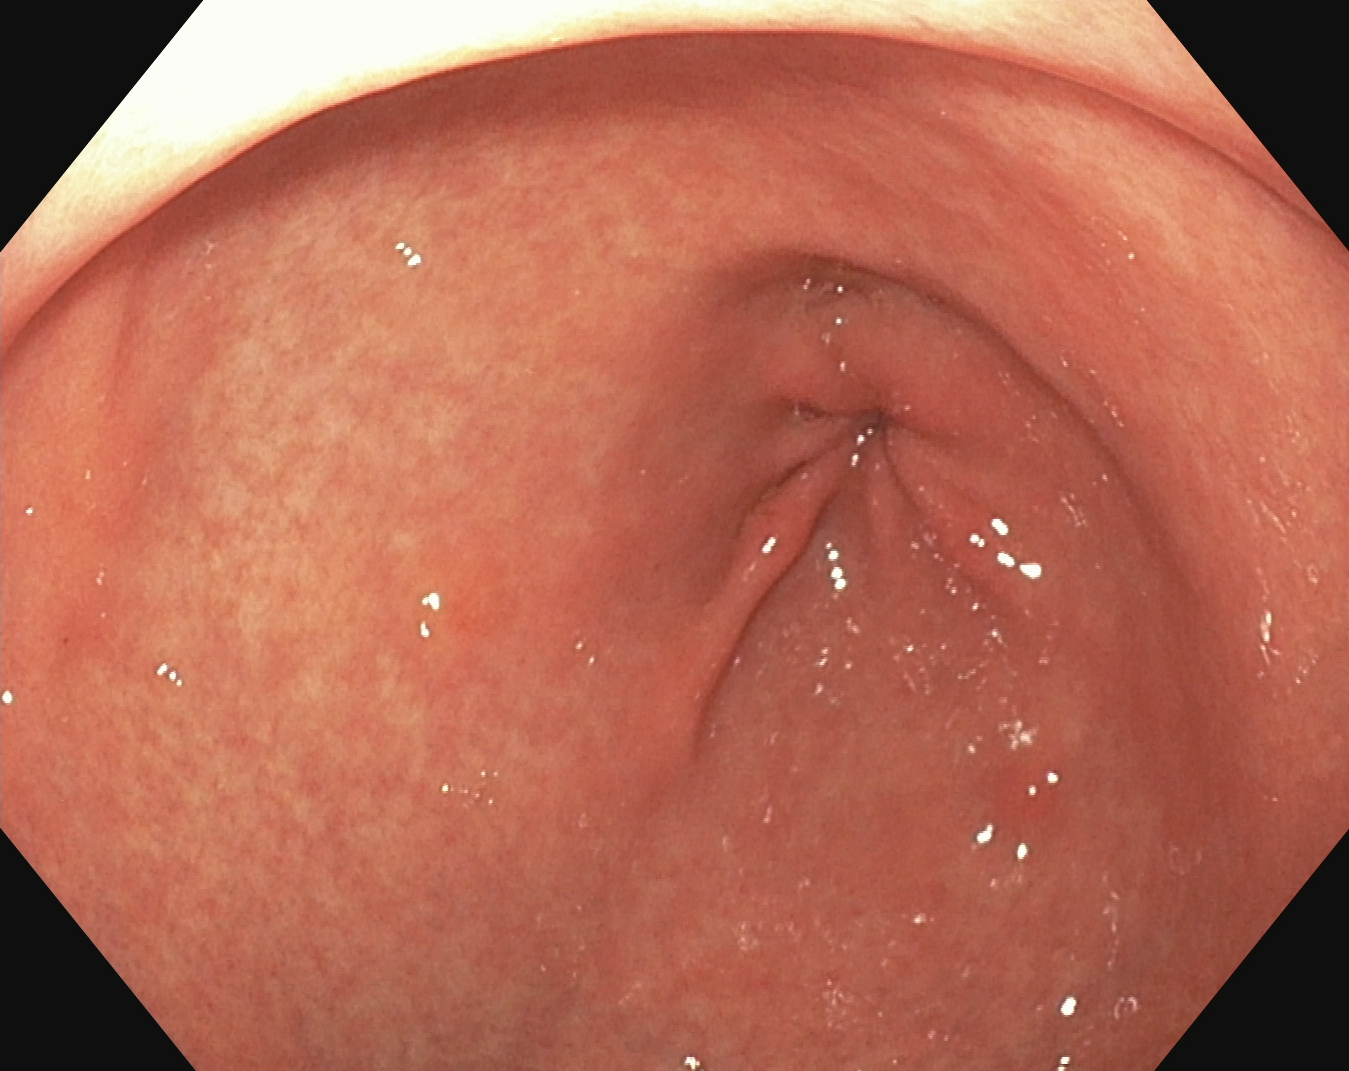Gastroscopy image showing pylorus.